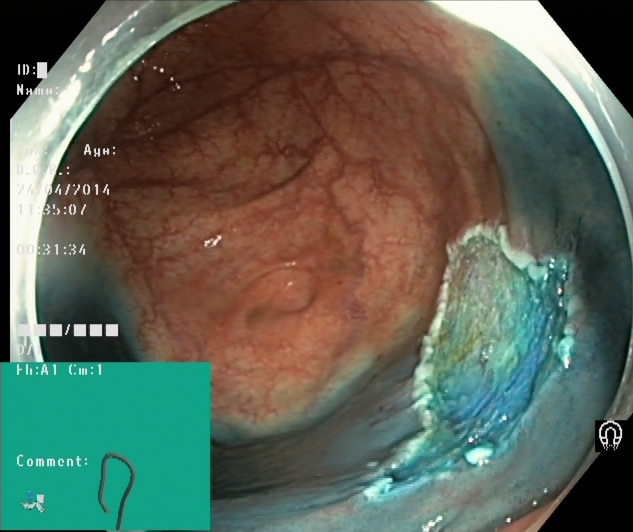modality: lower gastrointestinal endoscopy; finding: dyed resection margins (post-polypectomy)